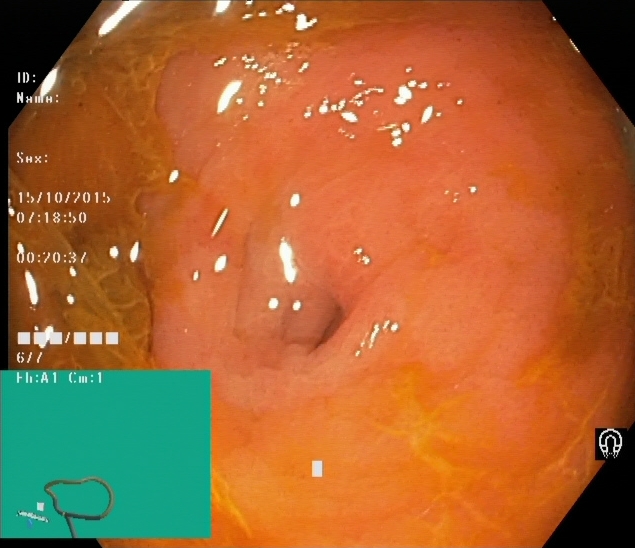modality: lower gastrointestinal endoscopy; finding: cecum